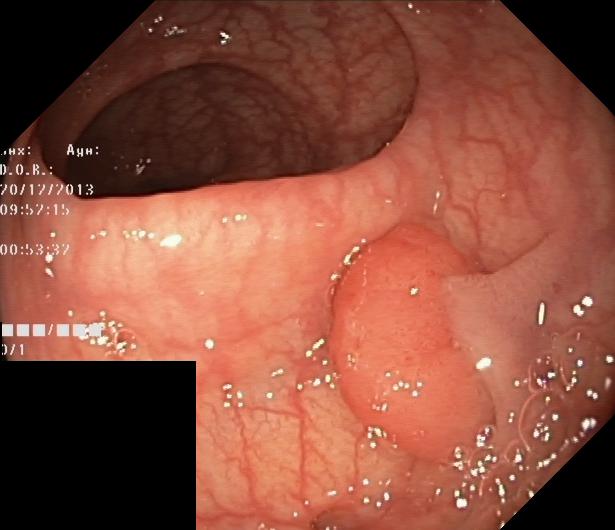modality: lower-GI endoscopy; category: pathological finding; finding: colorectal polyp(s)